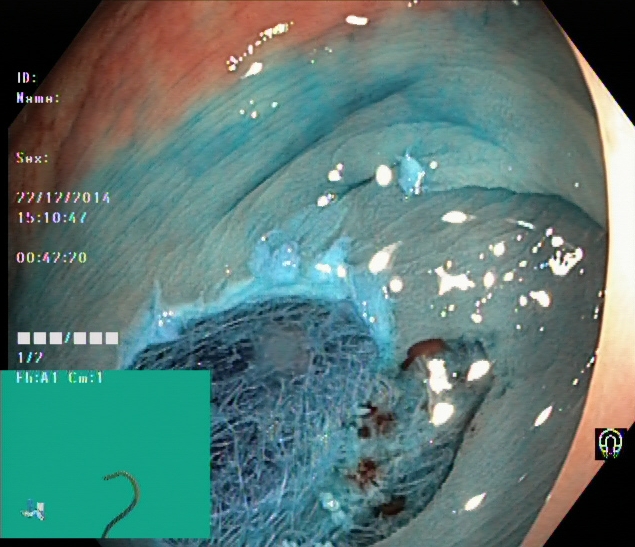{"modality": "lower-GI endoscopy", "tract": "lower GI tract", "category": "therapeutic intervention", "finding": "dyed resection margins (post-polypectomy)"}